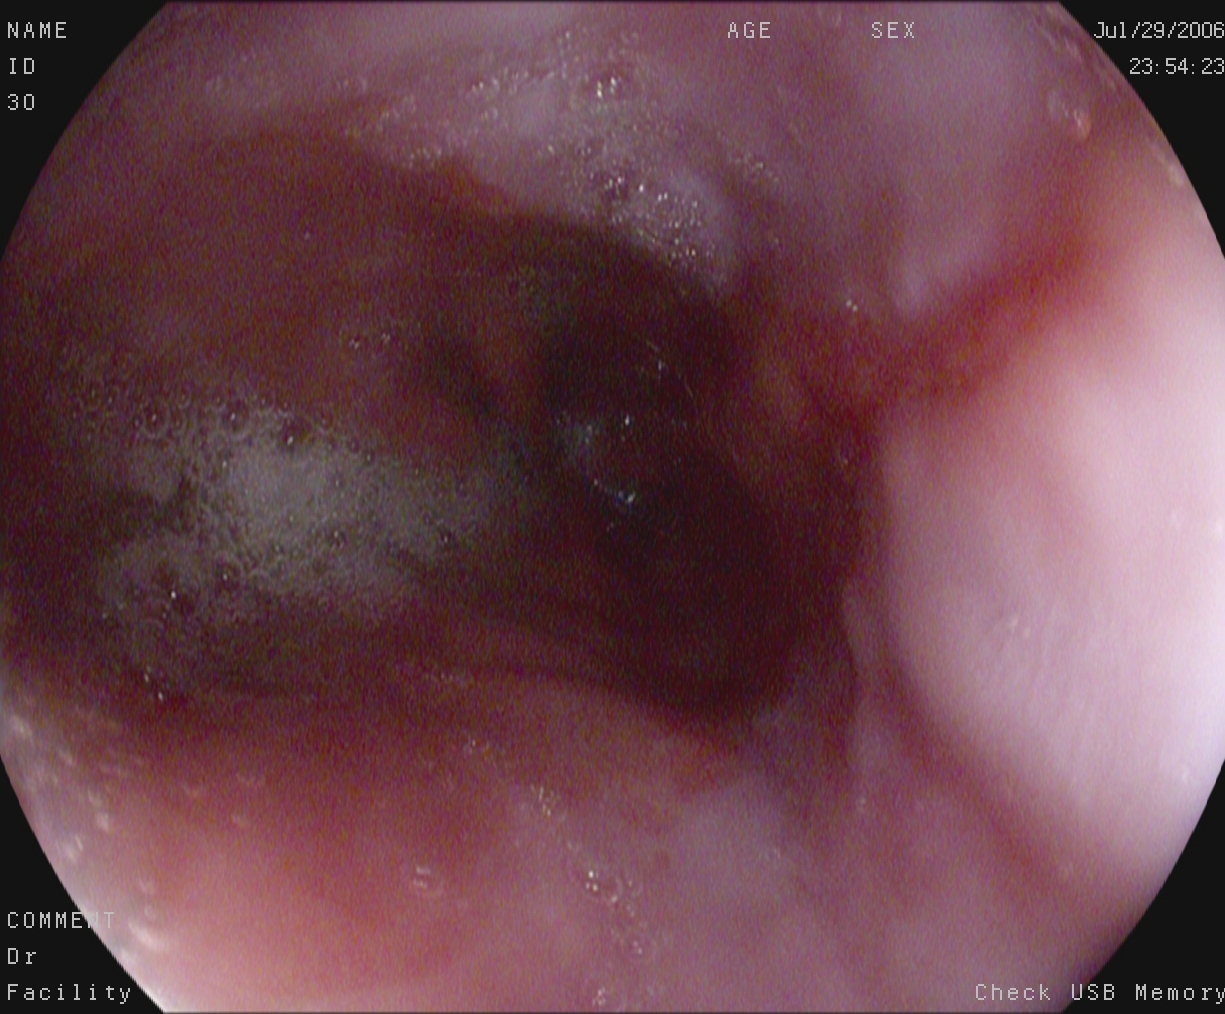modality: esophagogastroduodenoscopy; tract: upper GI tract; category: pathological finding; finding: reflux esophagitis, LA grade A